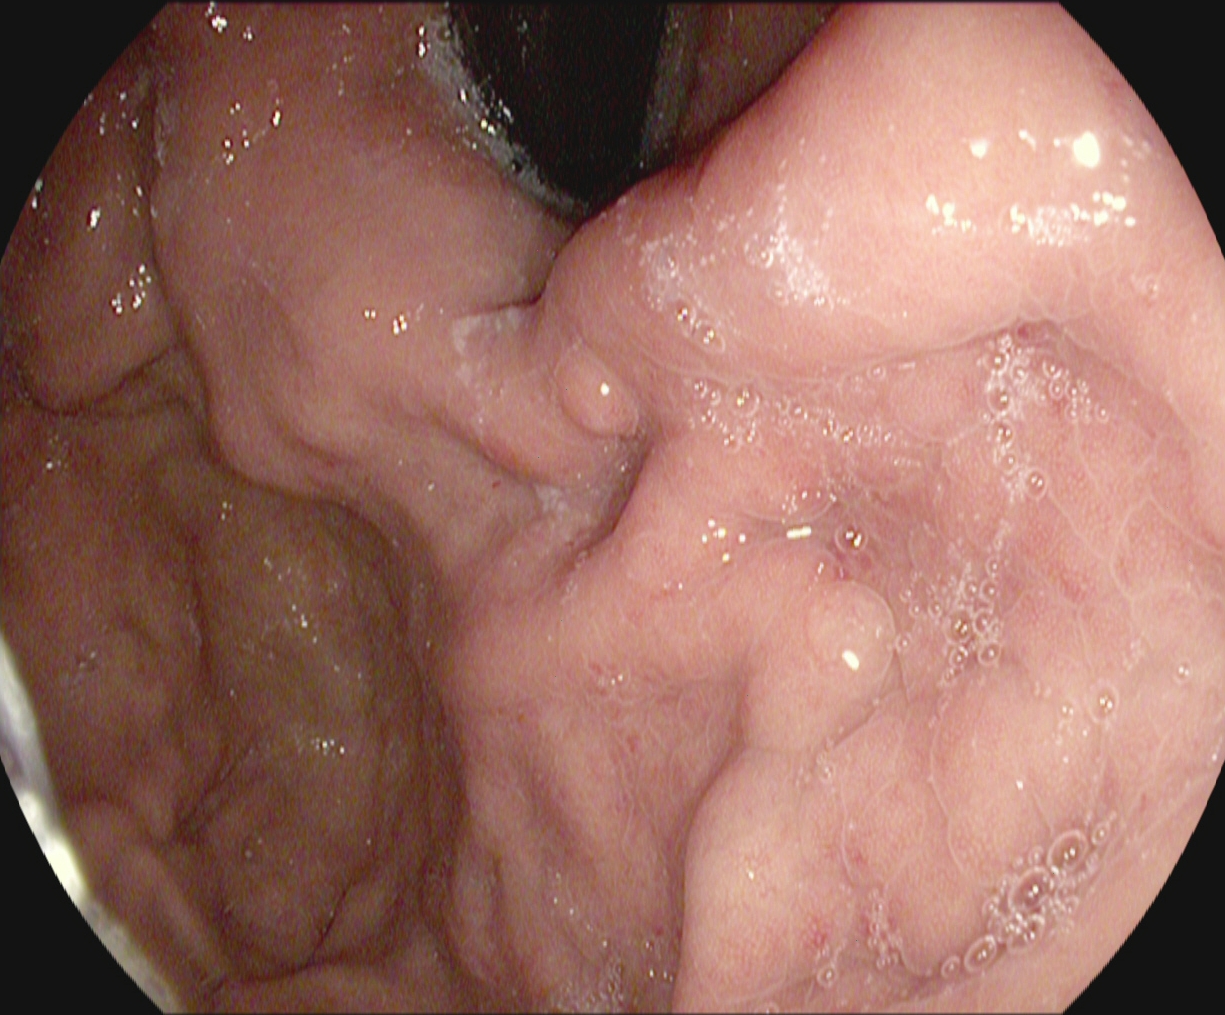This endoscopy frame shows stomach in retroflexion.